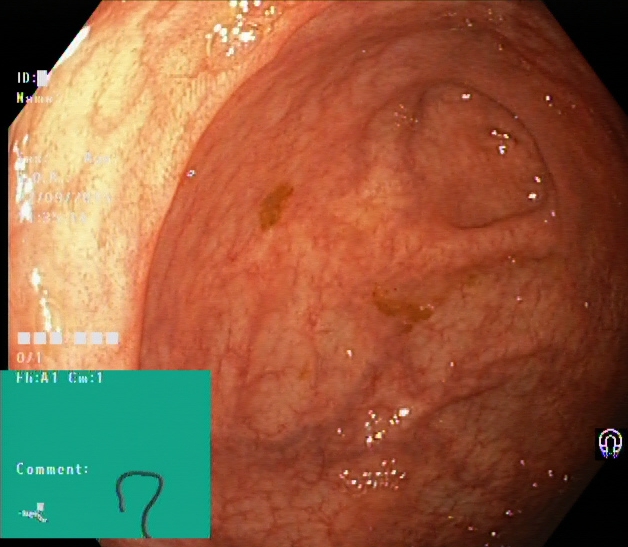Lower gastrointestinal endoscopy image showing cecum.